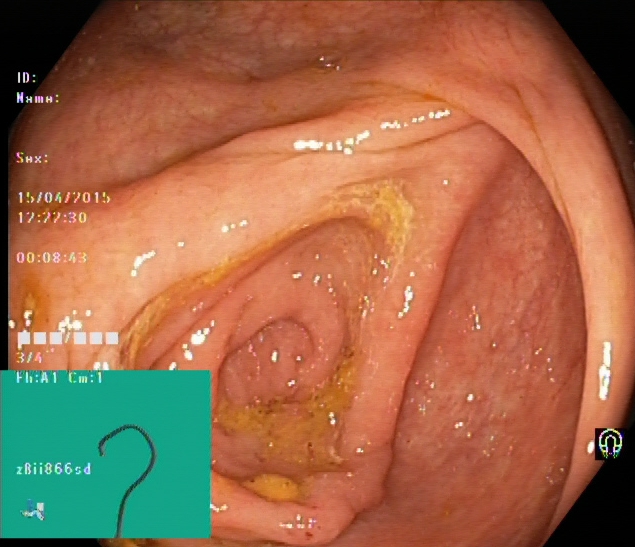This endoscopy frame of the lower GI tract shows cecum.